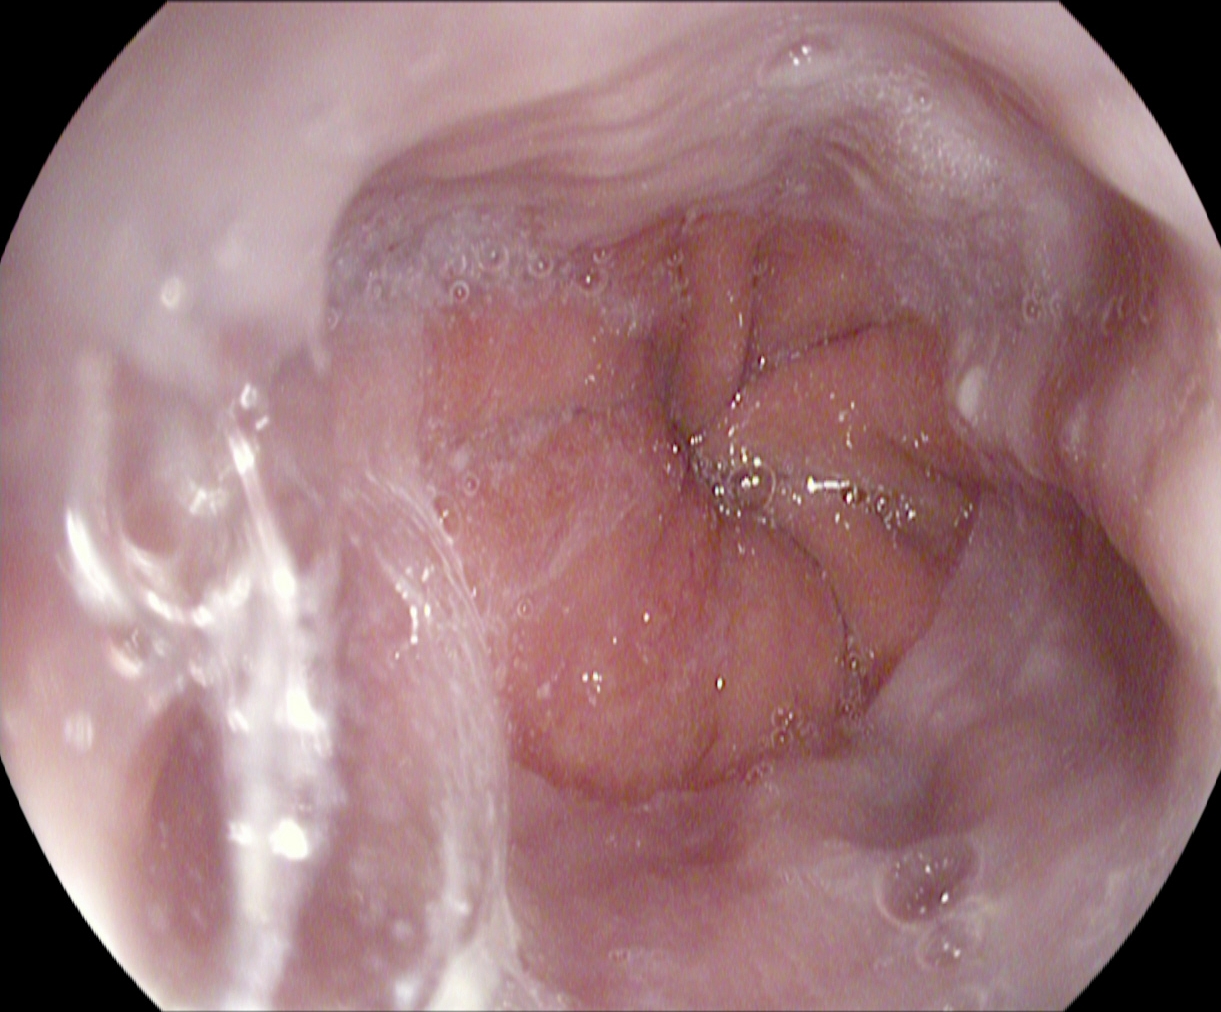modality: EGD; tract: upper GI tract; category: anatomical landmark; finding: Z-line (gastroesophageal junction)